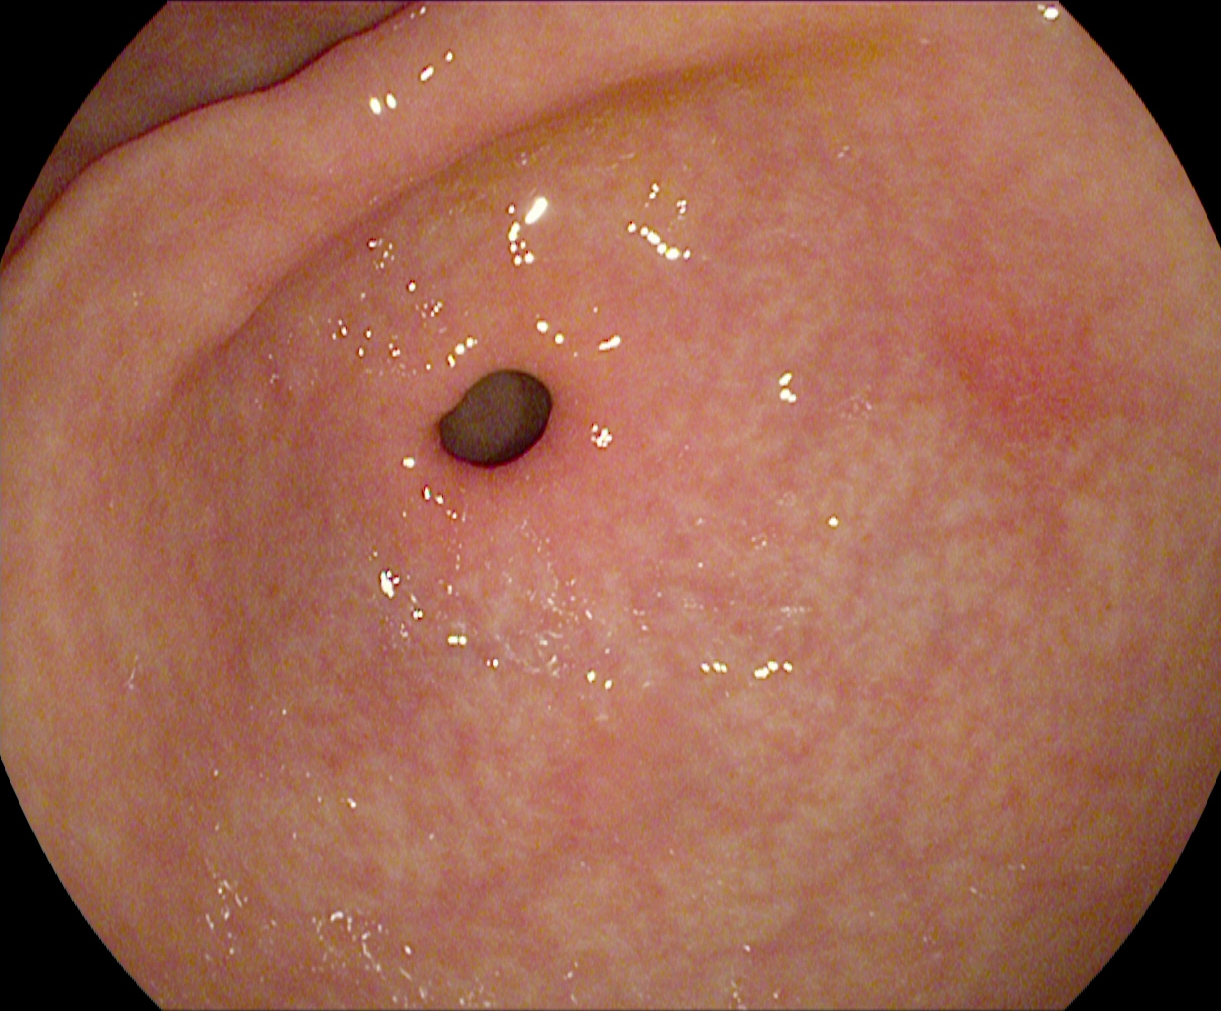Pylorus.